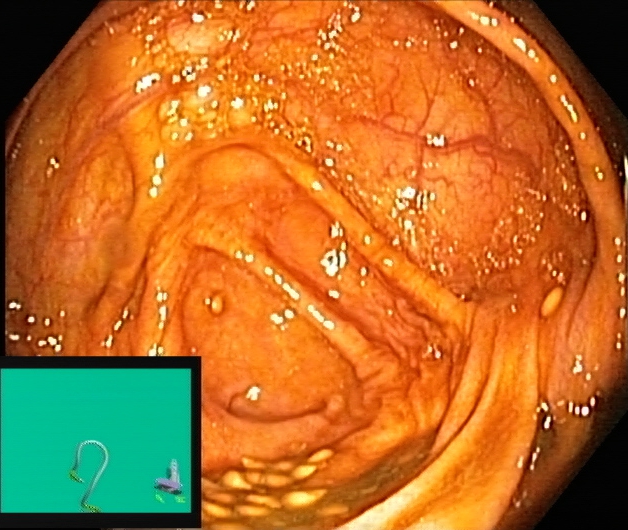Gastrointestinal endoscopy image showing cecum.